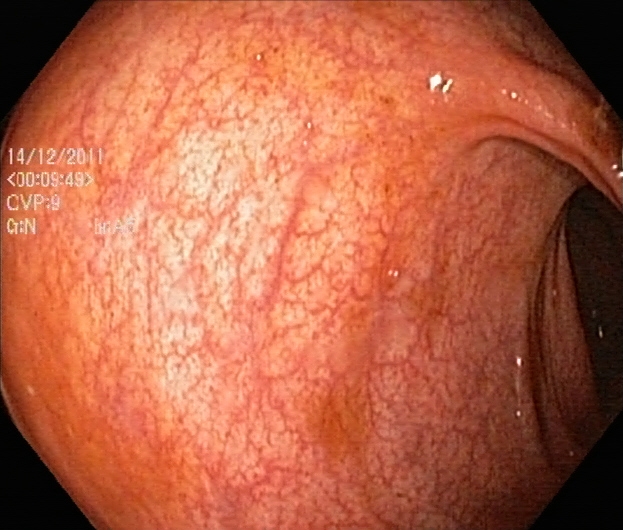{"modality": "lower gastrointestinal endoscopy", "tract": "lower GI tract", "finding": "ulcerative colitis, Mayo endoscopic subscore 0\u20131"}